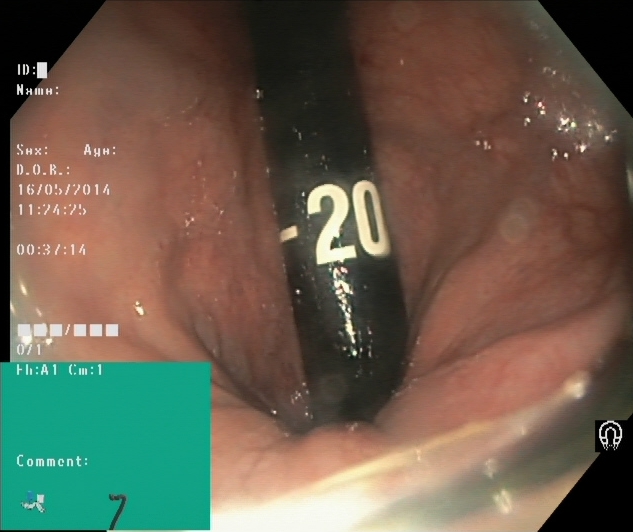Colonoscopy. Anatomical landmark. Finding: rectum in retroflexion.